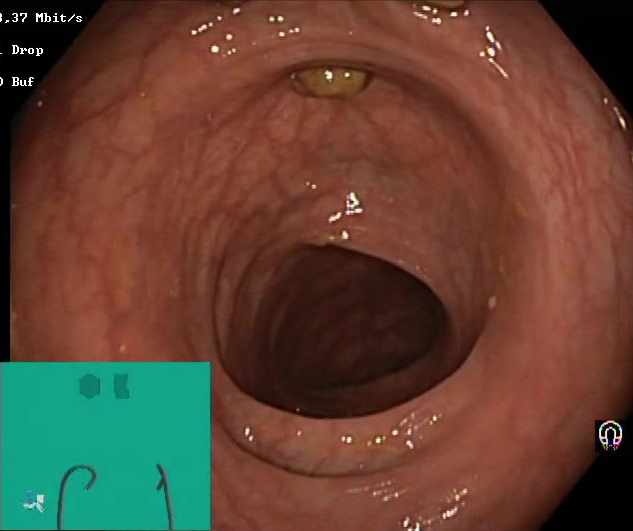{"modality": "colonoscopy", "tract": "lower GI tract", "finding": "impacted stool"}